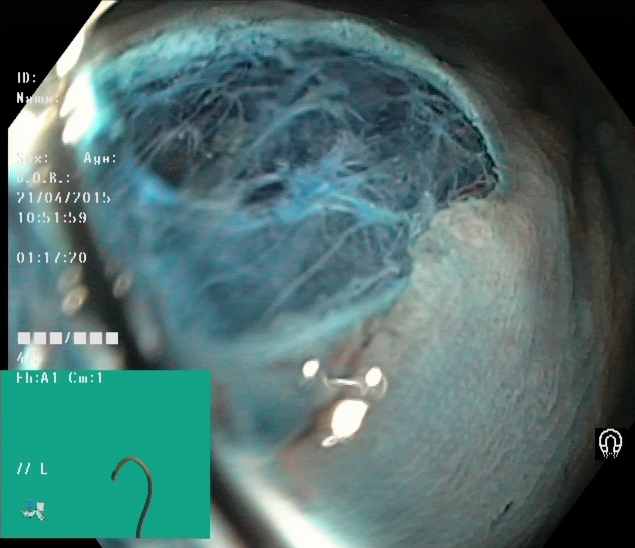Endoscopy image showing dyed resection margins (post-polypectomy).